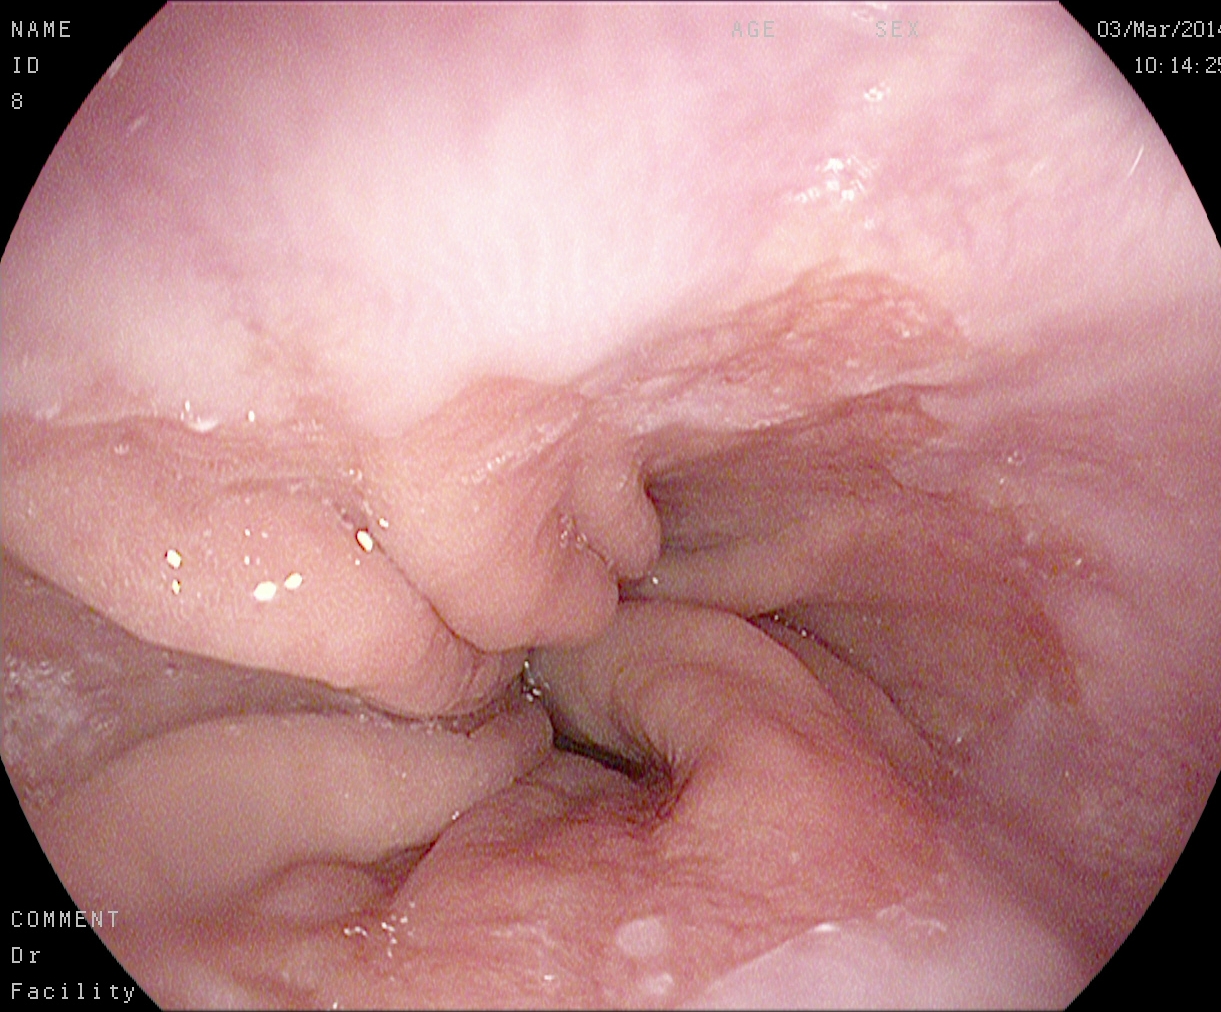Gastroscopy image of the upper GI tract showing Z-line (gastroesophageal junction).